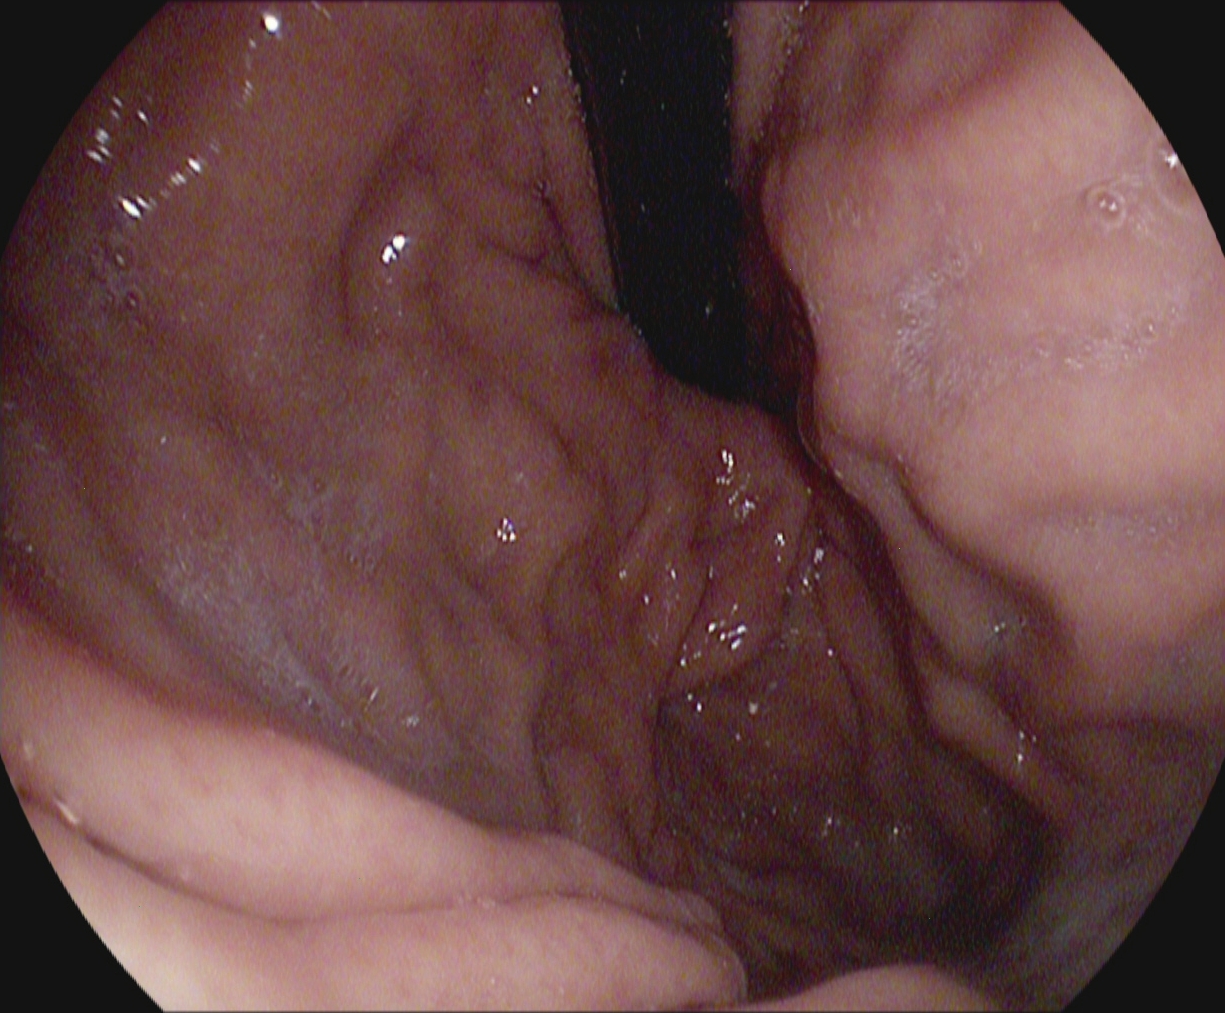Stomach in retroflexion.